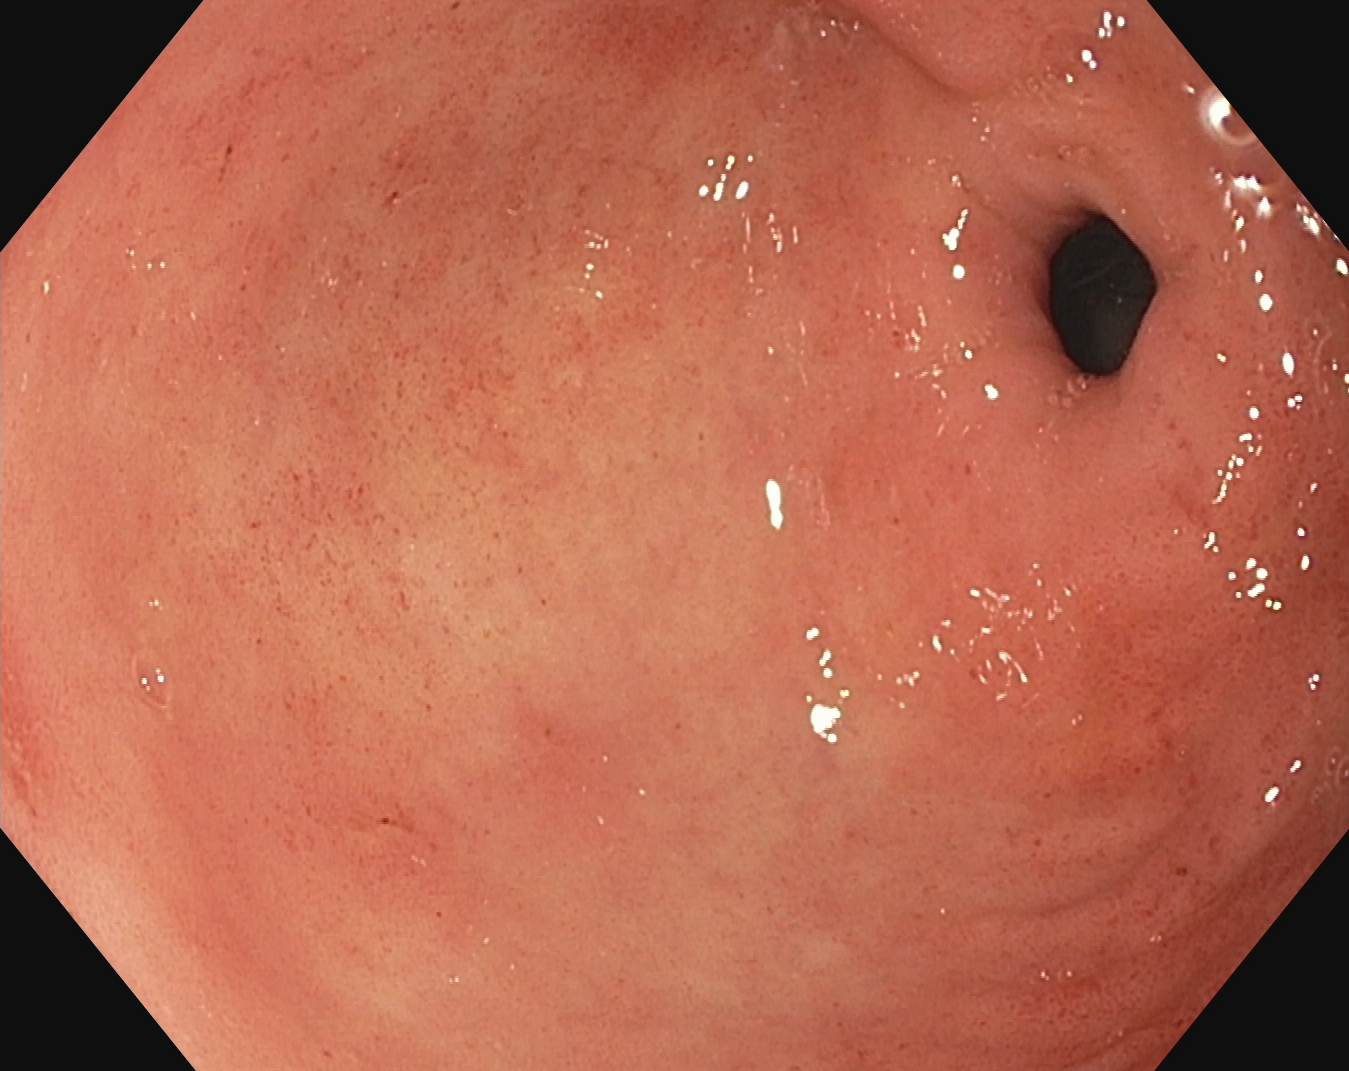modality: EGD
tract: upper GI tract
finding: pylorus